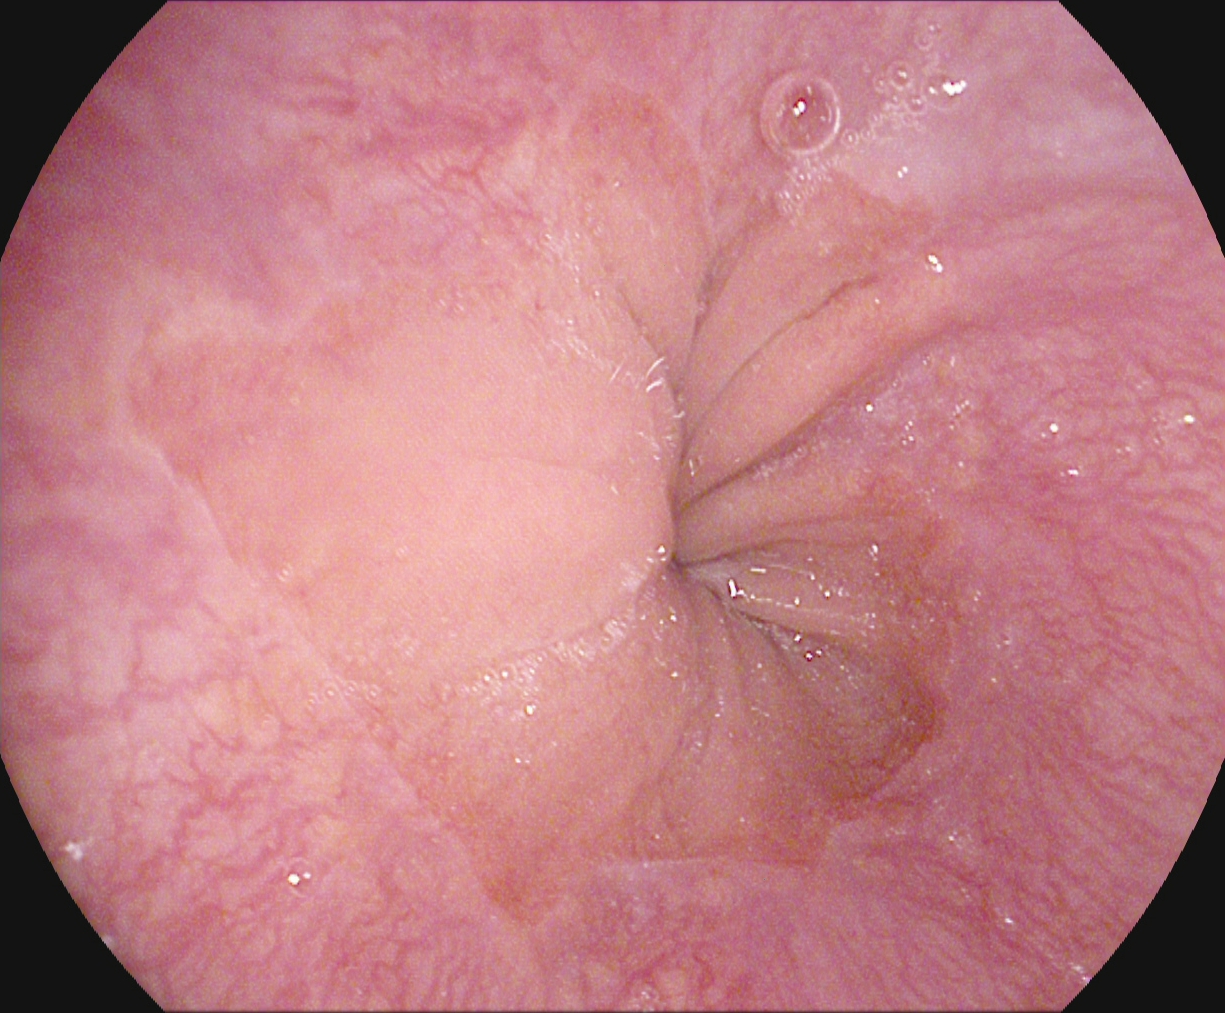This endoscopic image of the upper GI tract shows Z-line (gastroesophageal junction).